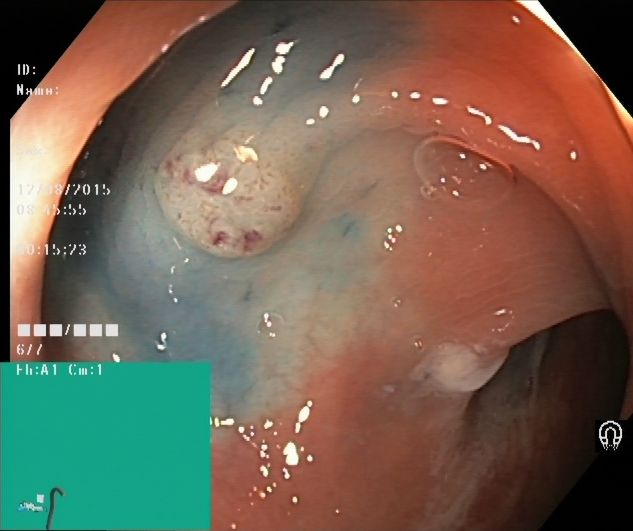Lower-GI endoscopy. Tract: lower GI tract. Therapeutic intervention. Finding: dyed and lifted polyp (pre-resection).